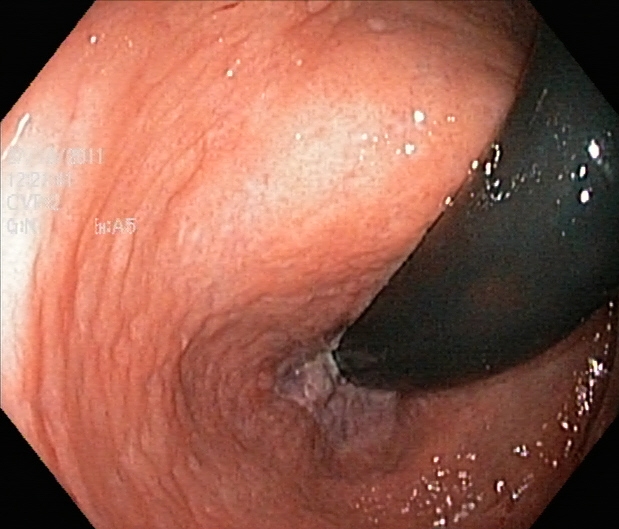Lower gastrointestinal endoscopy. Tract: lower GI tract. Finding: rectum in retroflexion.